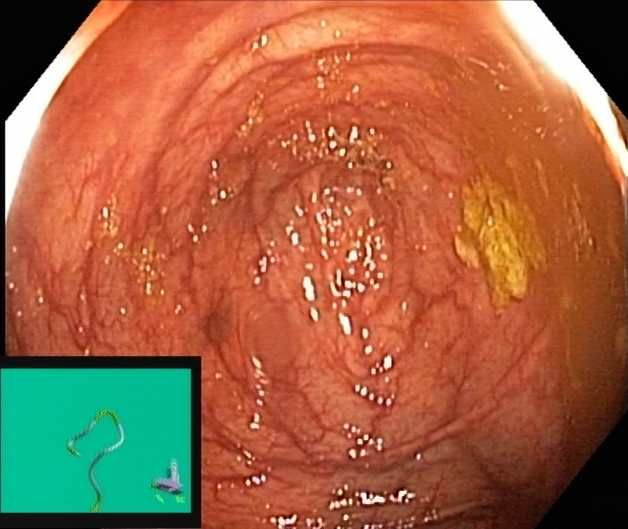PROCEDURE: Colonoscopy.
FINDINGS: Cecum.